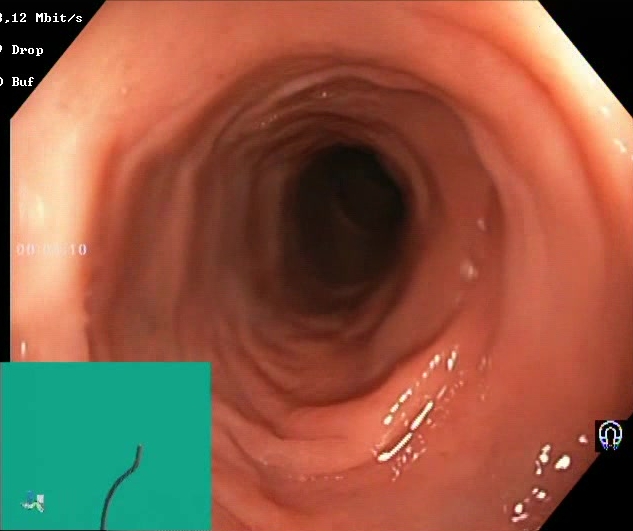PROCEDURE: Colonoscopy.
FINDINGS: BBPS score 2–3 (adequate preparation).